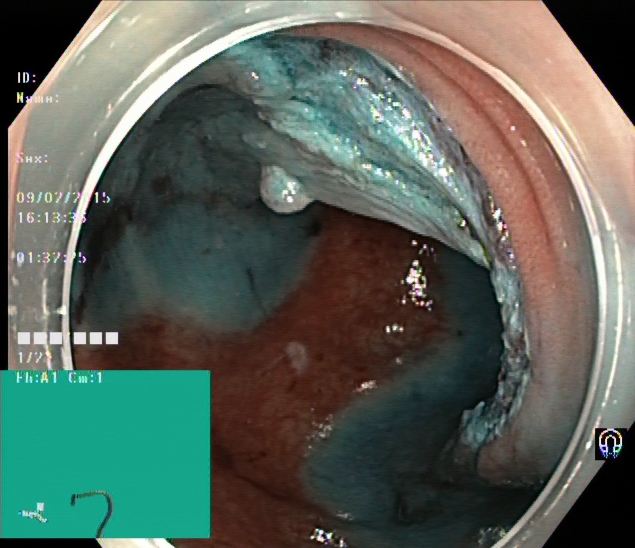PROCEDURE: Lower gastrointestinal endoscopy.
CATEGORY: Therapeutic intervention.
FINDINGS: Dyed and lifted polyp (pre-resection).